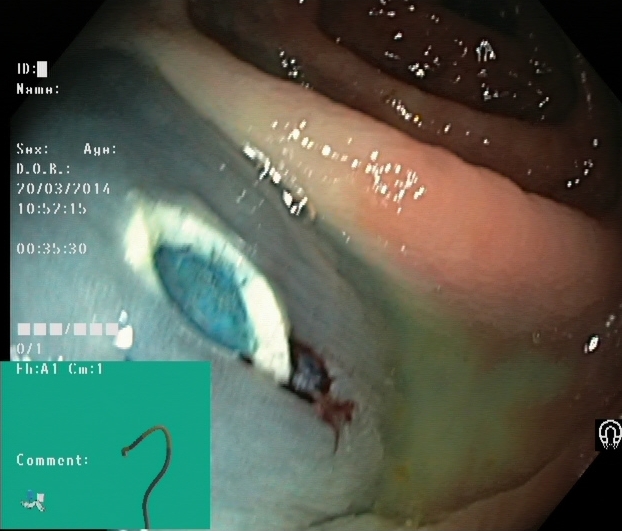Lower-GI endoscopy. Tract: lower GI tract. Finding: dyed resection margins (post-polypectomy).